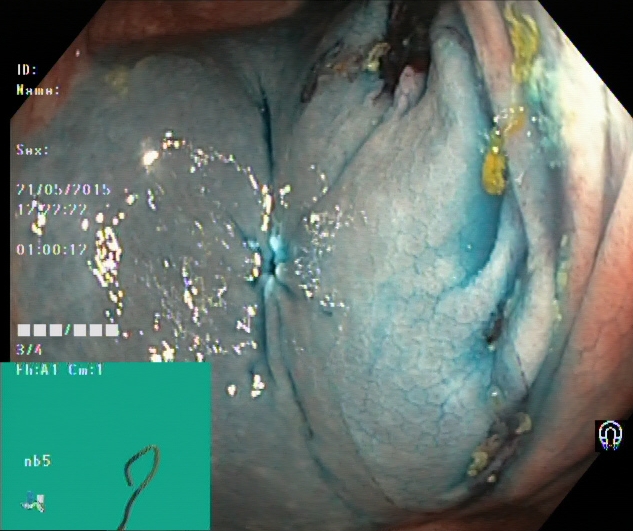Dyed resection margins (post-polypectomy).